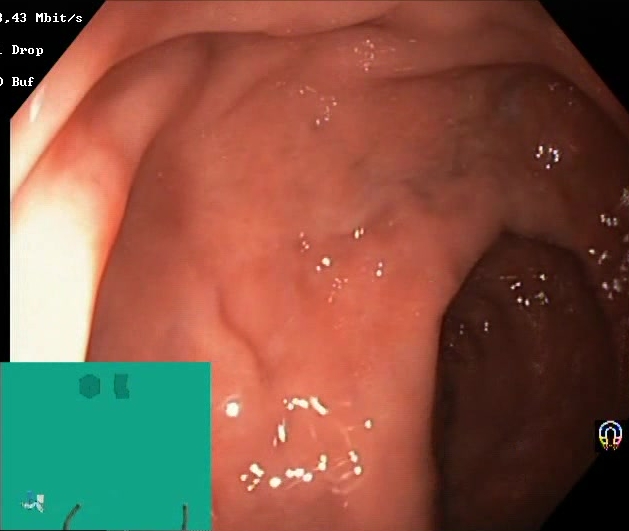Lower-GI endoscopy. Tract: lower GI tract. Finding: Boston Bowel Preparation Scale score 2–3 (adequate preparation).